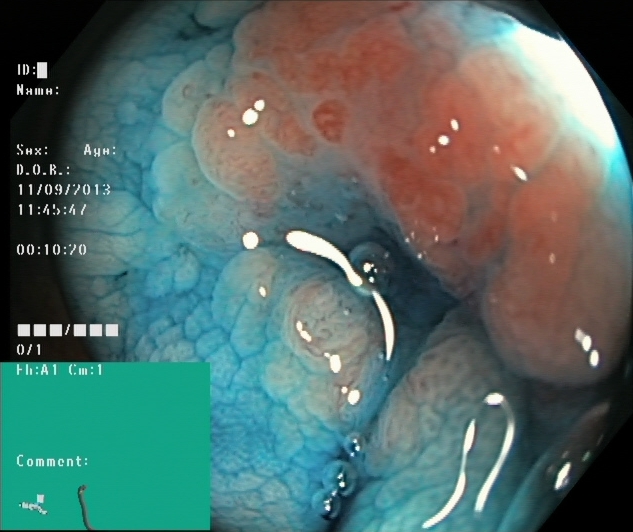This endoscopy frame shows dyed and lifted polyp (pre-resection).